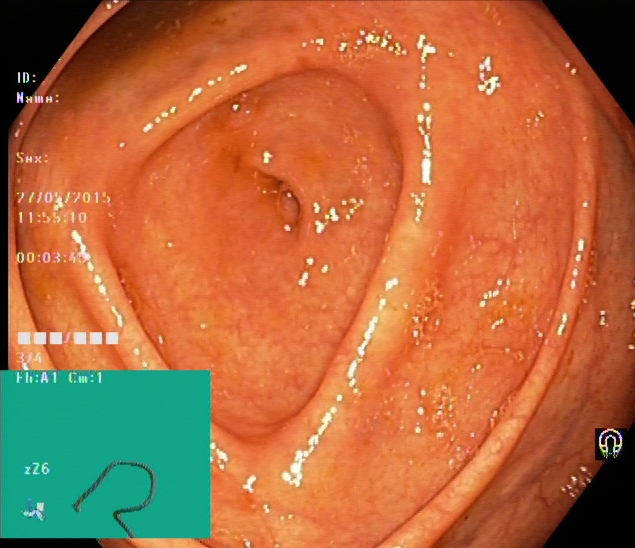modality: lower gastrointestinal endoscopy | finding: cecum